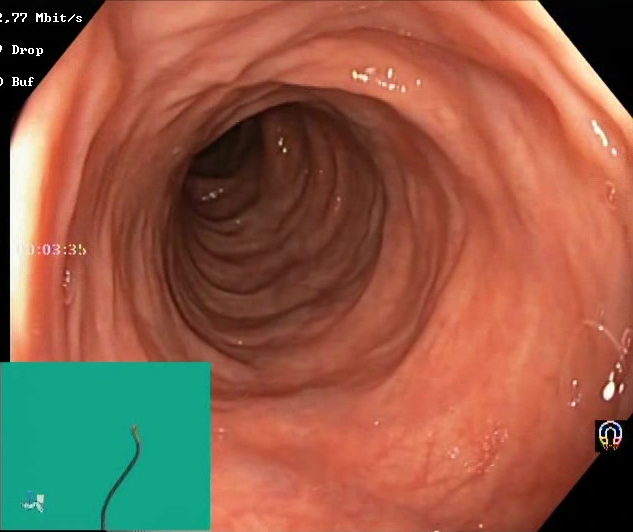{"modality": "lower gastrointestinal endoscopy", "tract": "lower GI tract", "category": "mucosal-view quality", "finding": "Boston Bowel Preparation Scale score 2\u20133 (adequate preparation)"}